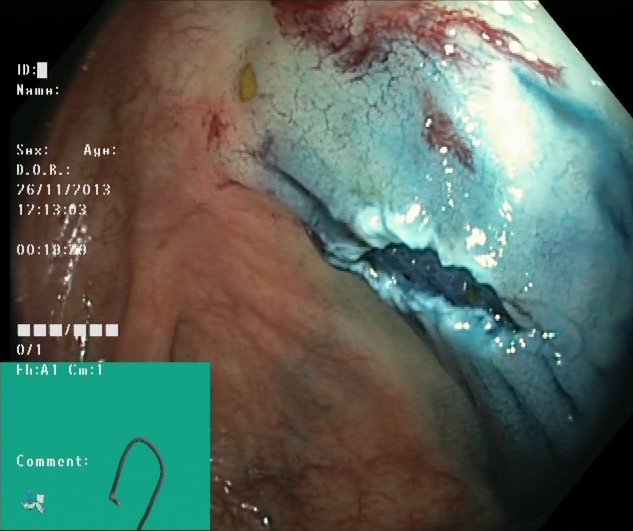Colonoscopy. Tract: lower GI tract. Finding: dyed resection margins (post-polypectomy).